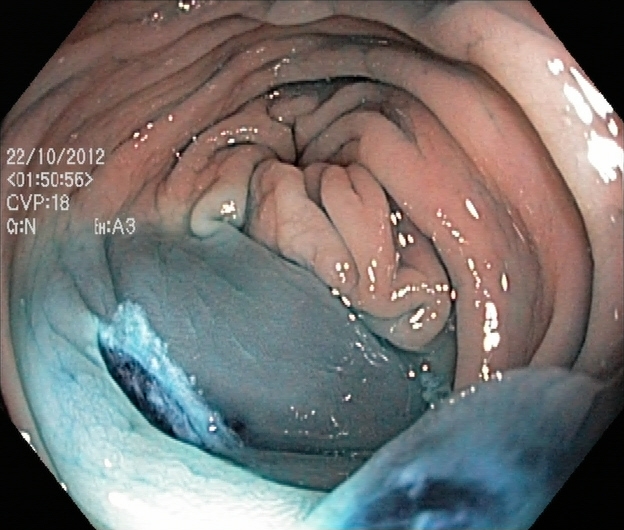dyed resection margins (post-polypectomy).